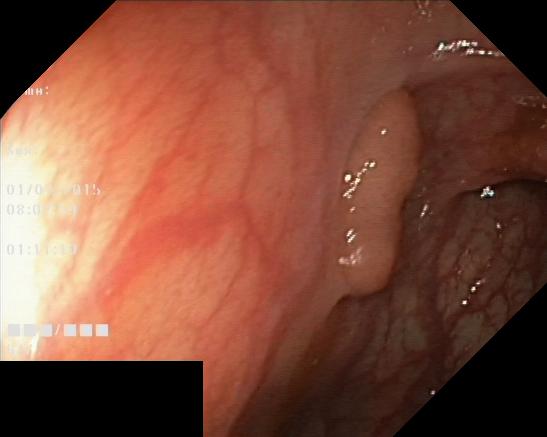Colorectal polyp(s).